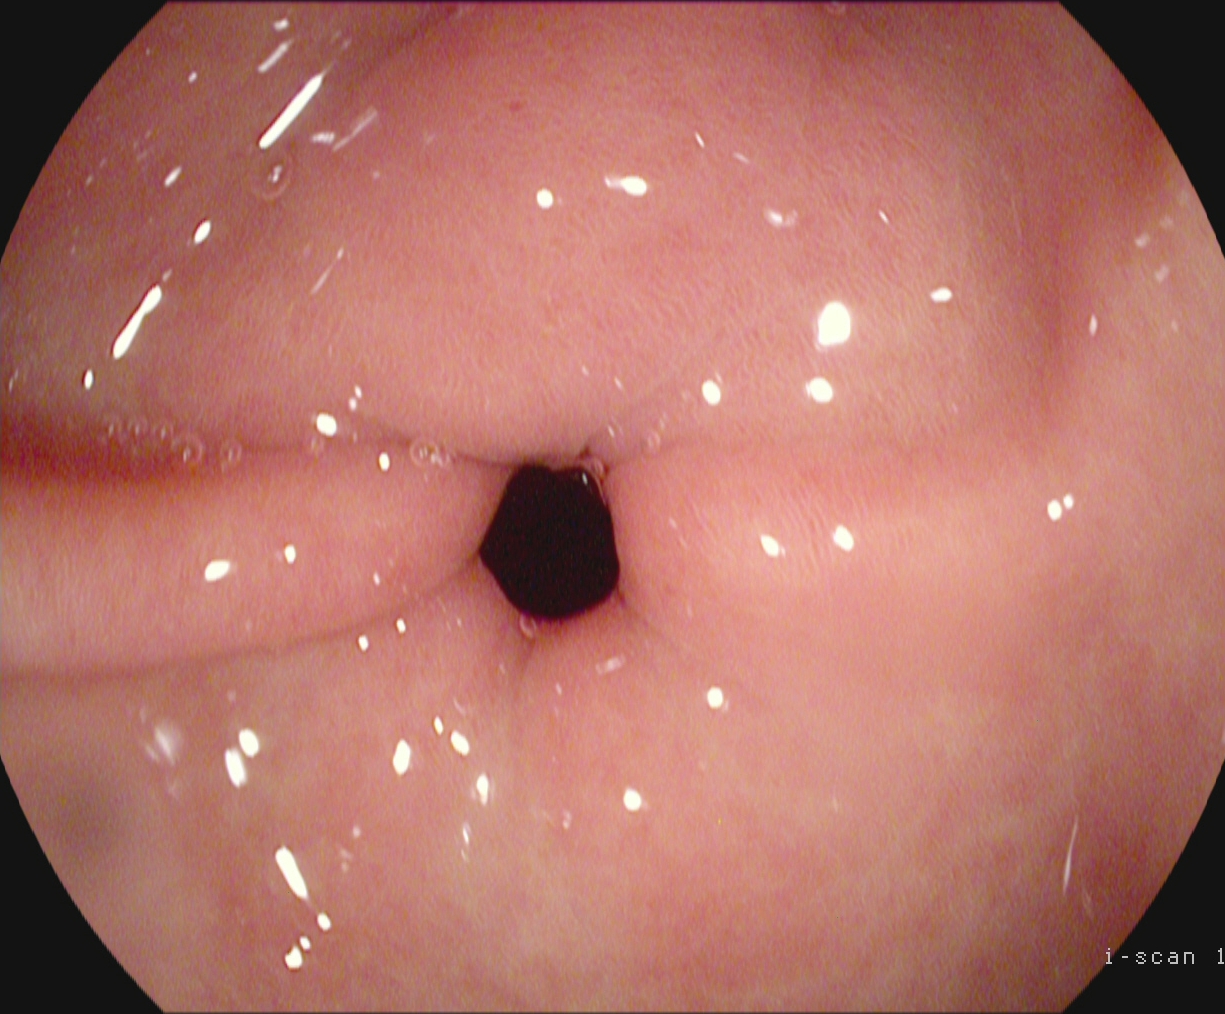PROCEDURE: Esophagogastroduodenoscopy.
CATEGORY: Anatomical landmark.
FINDINGS: Pylorus.